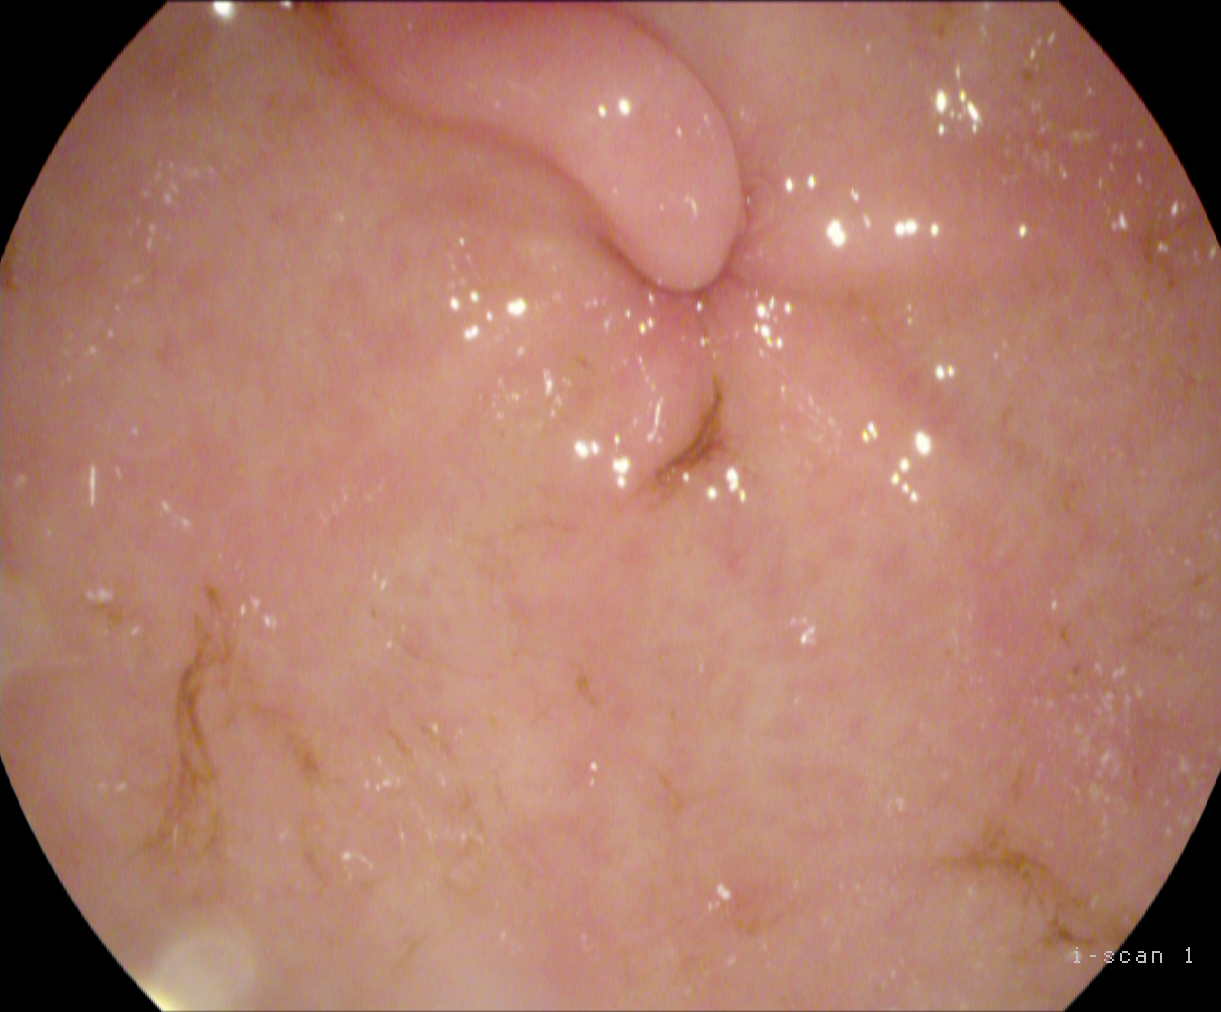This endoscopic image of the upper GI tract shows pylorus.